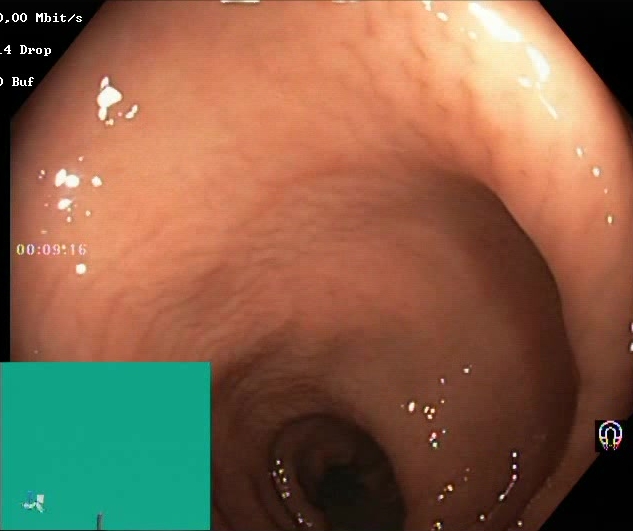modality: lower gastrointestinal endoscopy; tract: lower GI tract; finding: BBPS score 2–3 (adequate preparation)